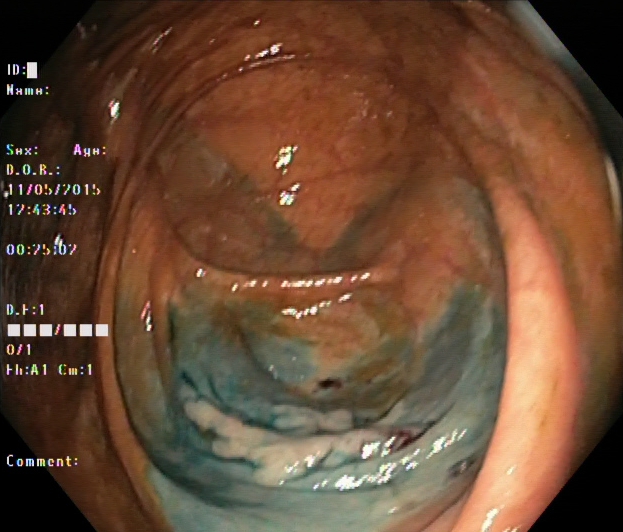PROCEDURE: Lower-GI endoscopy.
FINDINGS: Dyed and lifted polyp (pre-resection).